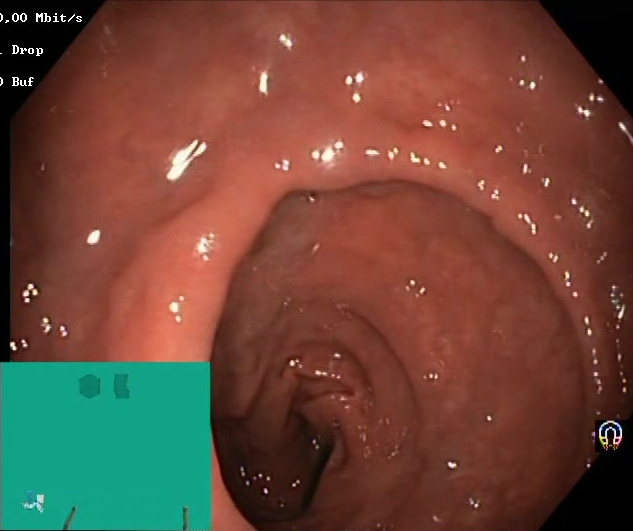Lower-GI endoscopy. Finding: Boston Bowel Preparation Scale score 2–3 (adequate preparation).